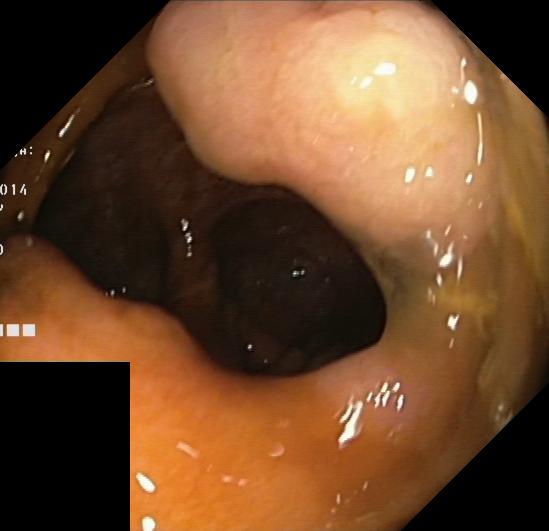Colonoscopy. Tract: lower GI tract. Finding: colorectal polyp(s).